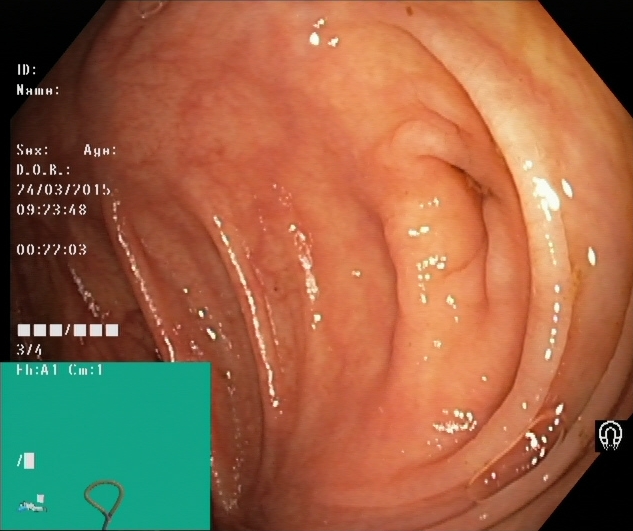PROCEDURE: Lower-GI endoscopy.
FINDINGS: Cecum.